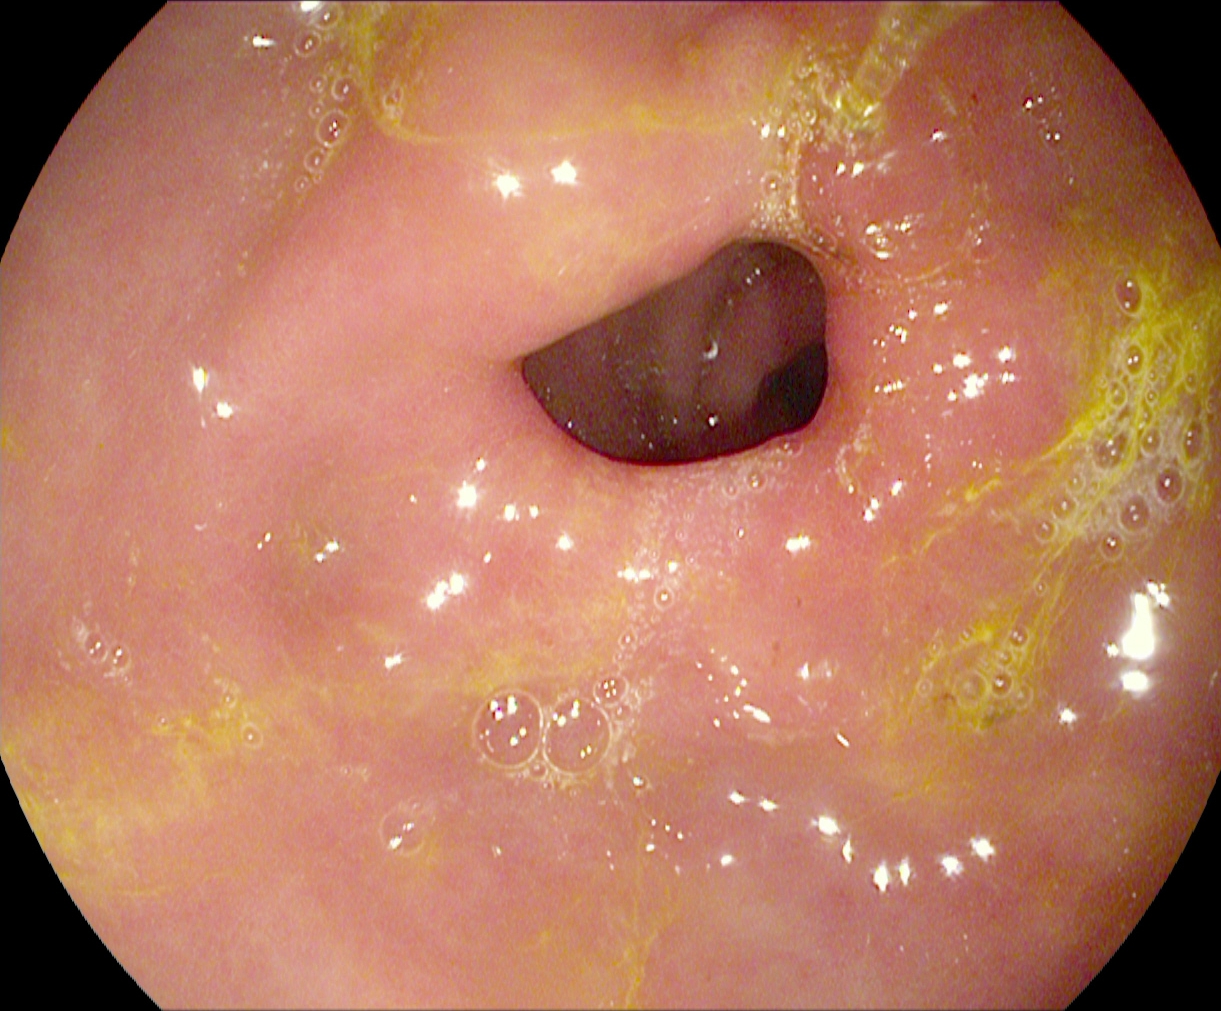Esophagogastroduodenoscopy image of the upper GI tract showing pylorus.